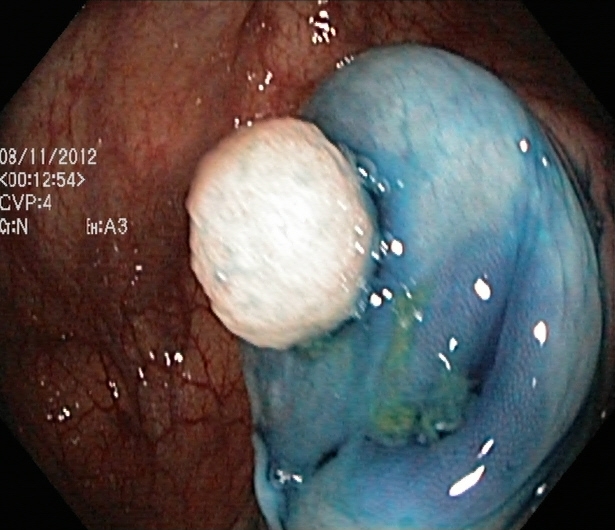{"modality": "lower gastrointestinal endoscopy", "finding": "dyed and lifted polyp (pre-resection)"}